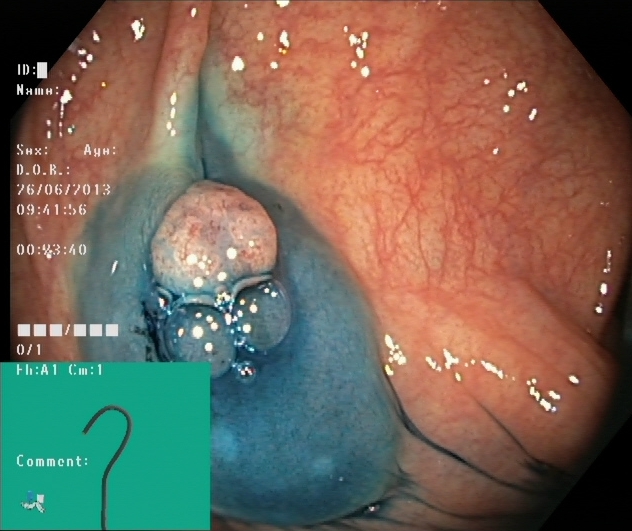Dyed and lifted polyp (pre-resection).